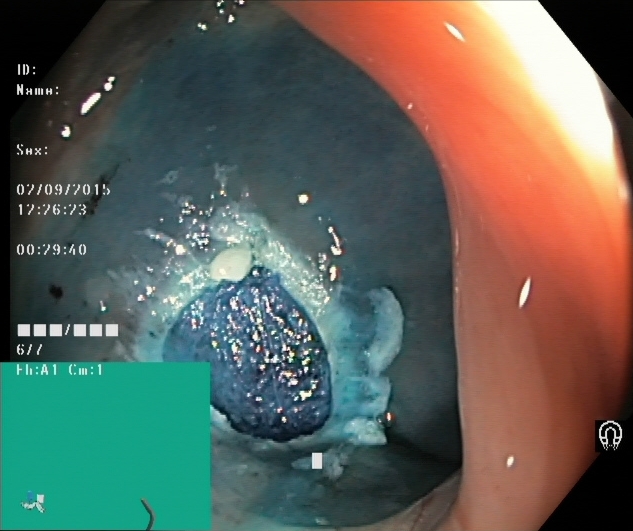This endoscopic image shows dyed resection margins (post-polypectomy).